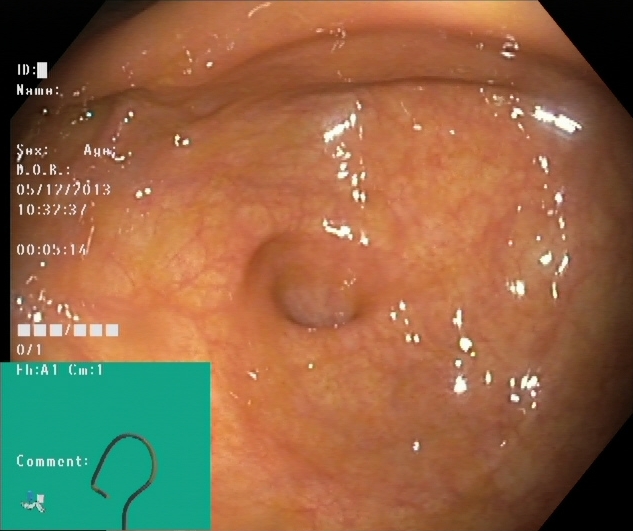{"modality": "lower gastrointestinal endoscopy", "tract": "lower GI tract", "category": "anatomical landmark", "finding": "cecum"}